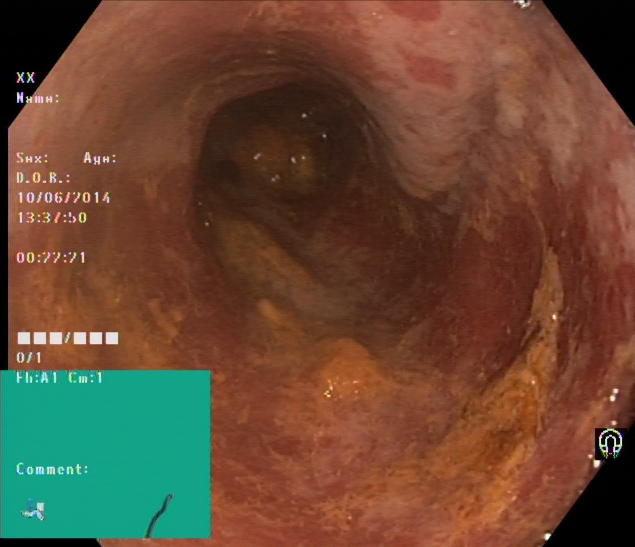Lower-GI endoscopy. Tract: lower GI tract. Mucosal-view quality. Finding: Boston Bowel Preparation Scale score 0–1 (inadequate preparation).